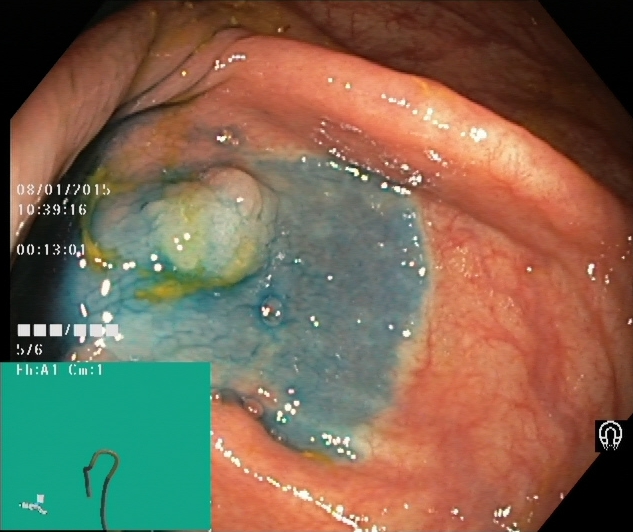Lower-GI endoscopy. Finding: dyed and lifted polyp (pre-resection).